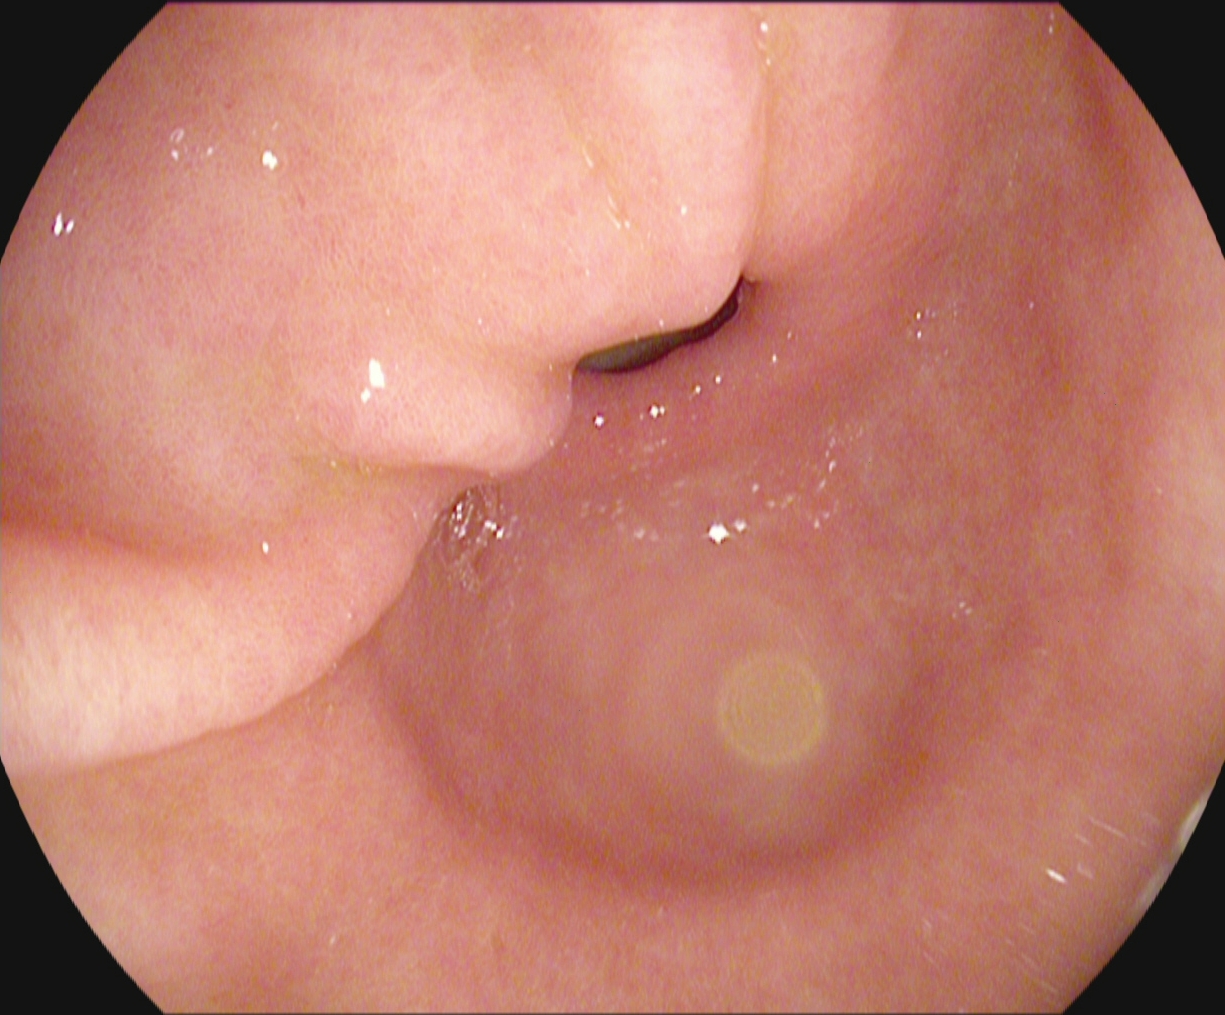{"modality": "esophagogastroduodenoscopy", "tract": "upper GI tract", "finding": "pylorus"}